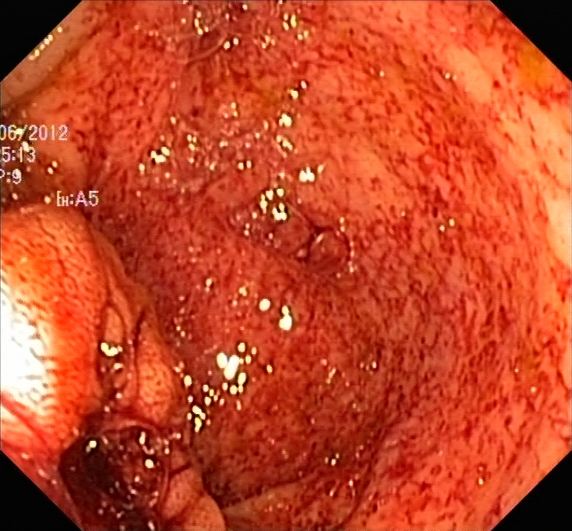Lower-GI endoscopy. Pathological finding. Finding: UC, Mayo endoscopic subscore 2–3.